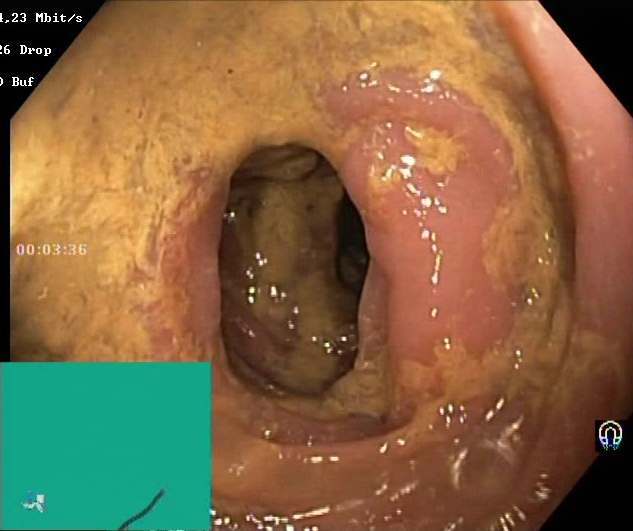PROCEDURE: Lower-GI endoscopy.
CATEGORY: Mucosal-view quality.
FINDINGS: Boston Bowel Preparation Scale score 0–1 (inadequate preparation).